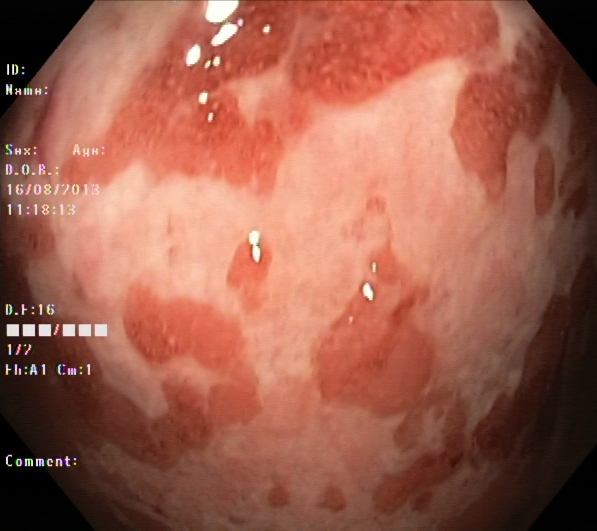PROCEDURE: Lower gastrointestinal endoscopy.
CATEGORY: Pathological finding.
FINDINGS: Ulcerative colitis, Mayo endoscopic subscore 3.